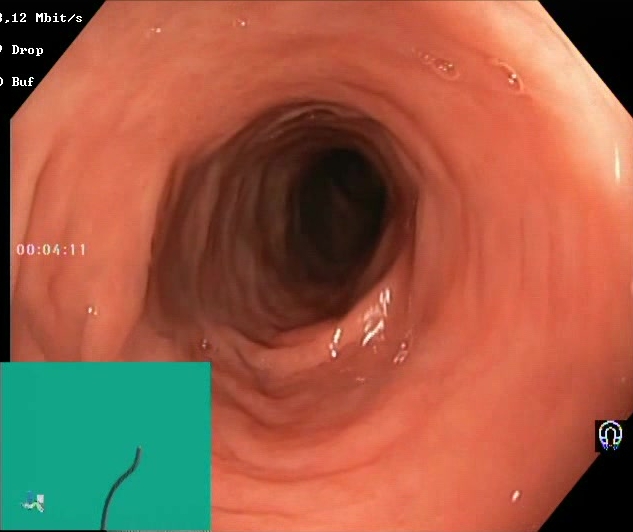Colonoscopy — Boston Bowel Preparation Scale score 2–3 (adequate preparation).